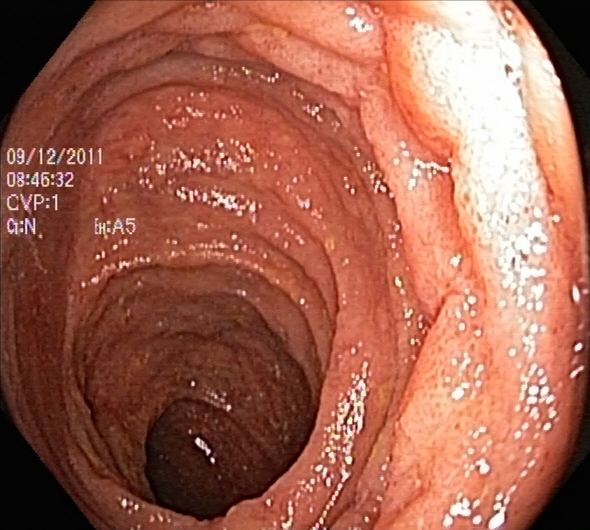{"modality": "lower-GI endoscopy", "finding": "ulcerative colitis, Mayo endoscopic subscore 2"}